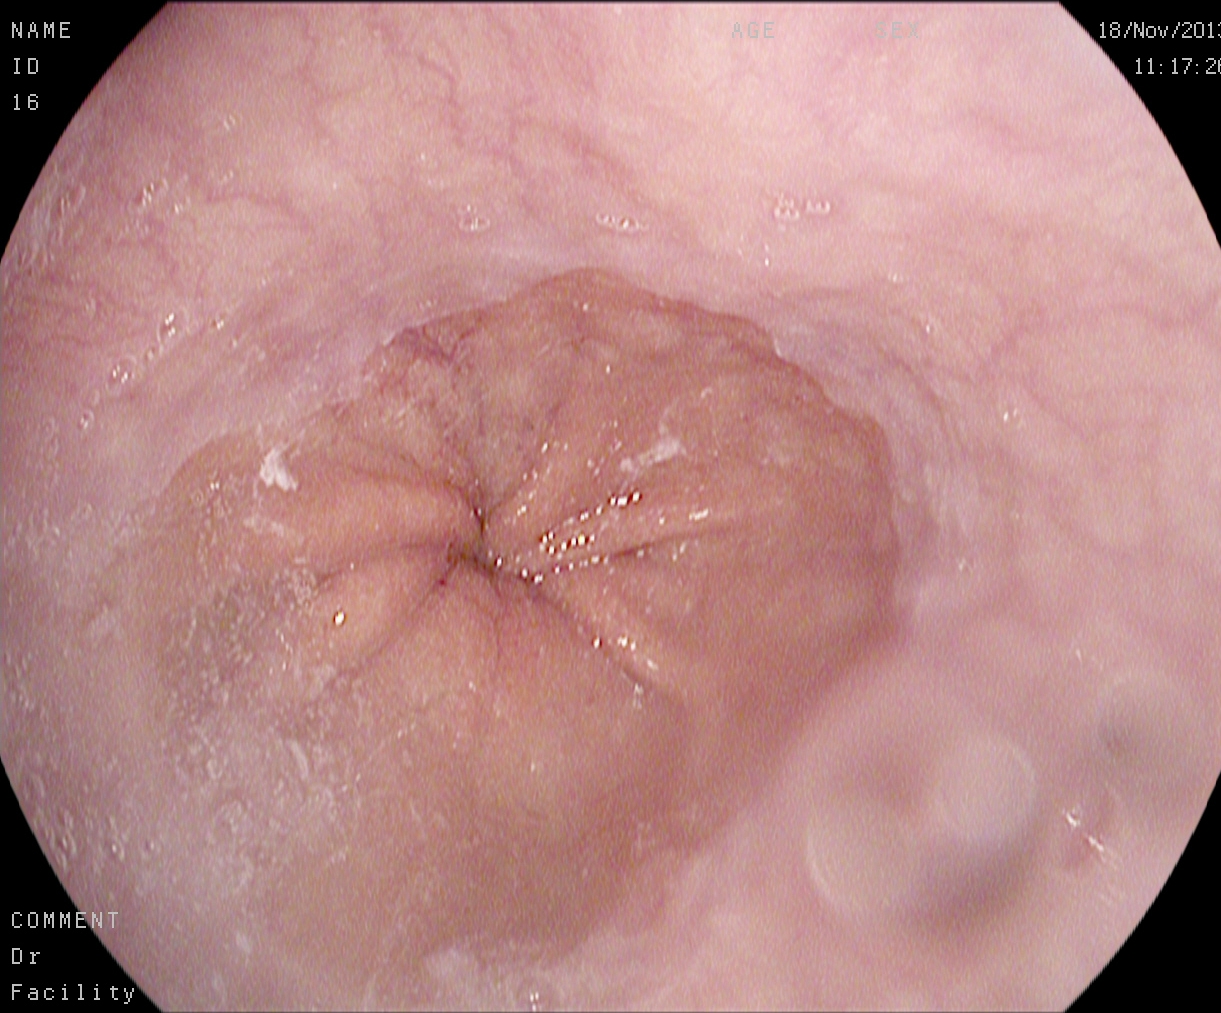Z-line (gastroesophageal junction).